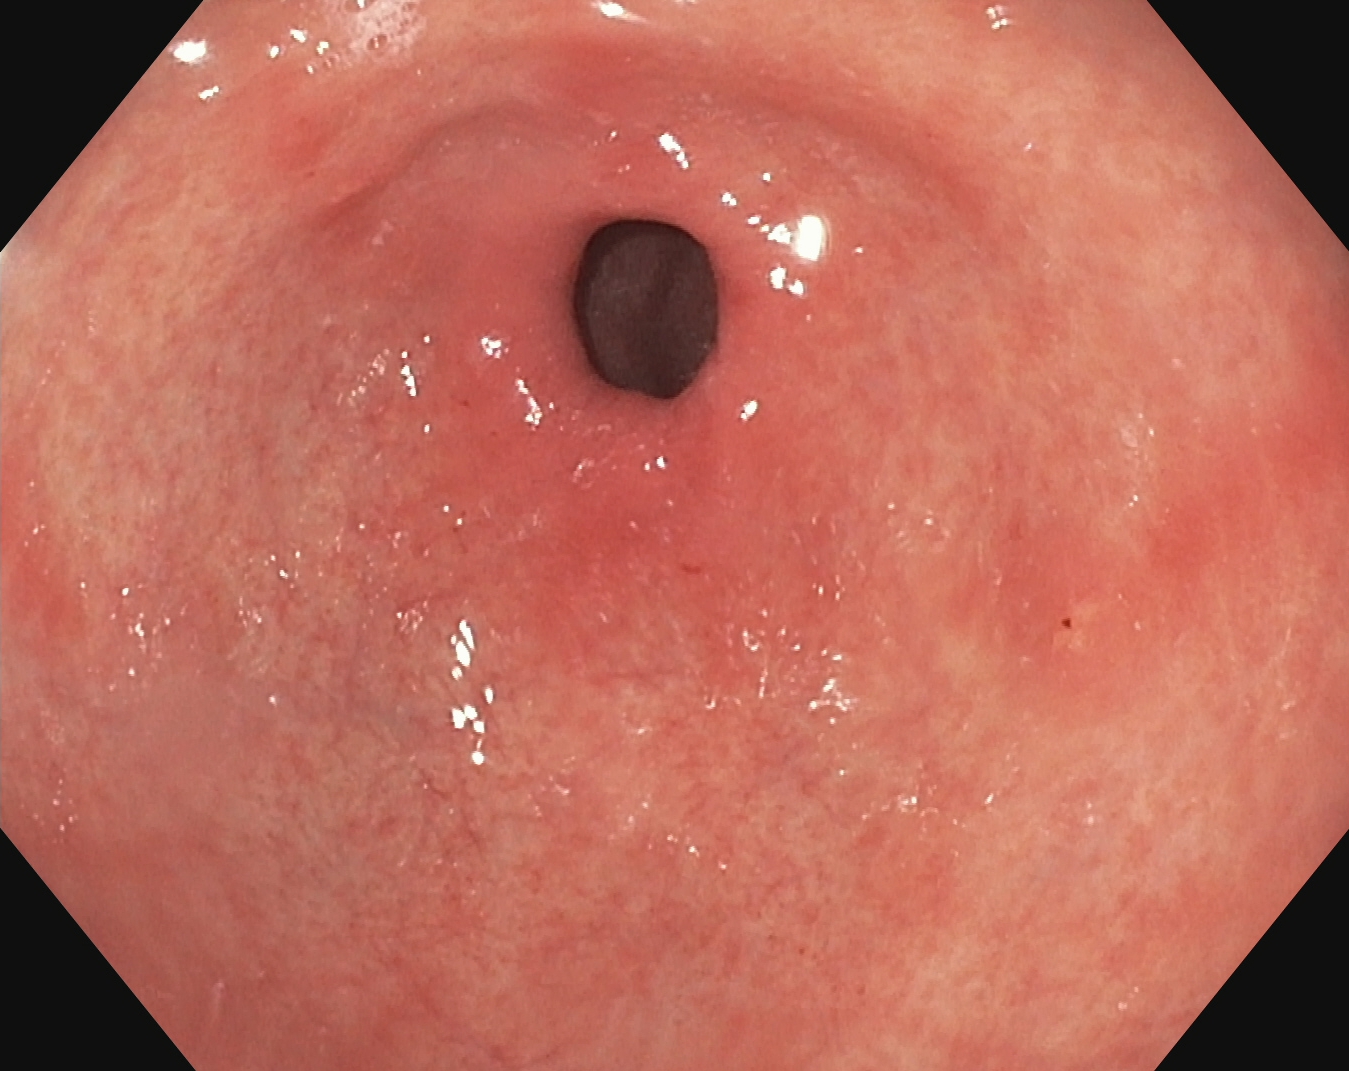modality: esophagogastroduodenoscopy; tract: upper GI tract; finding: pylorus